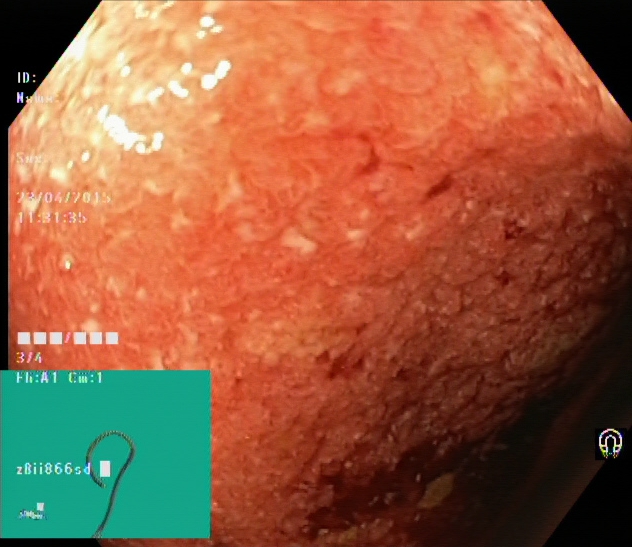Lower gastrointestinal endoscopy. Tract: lower GI tract. Anatomical landmark. Finding: terminal ileum.